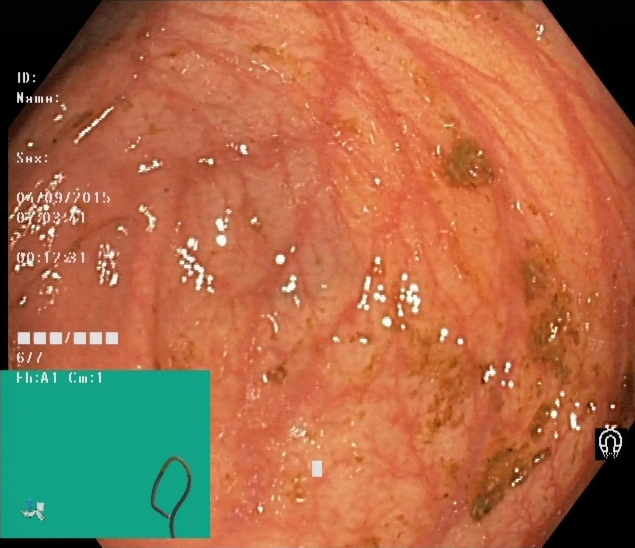modality: lower gastrointestinal endoscopy; tract: lower GI tract; category: anatomical landmark; finding: cecum